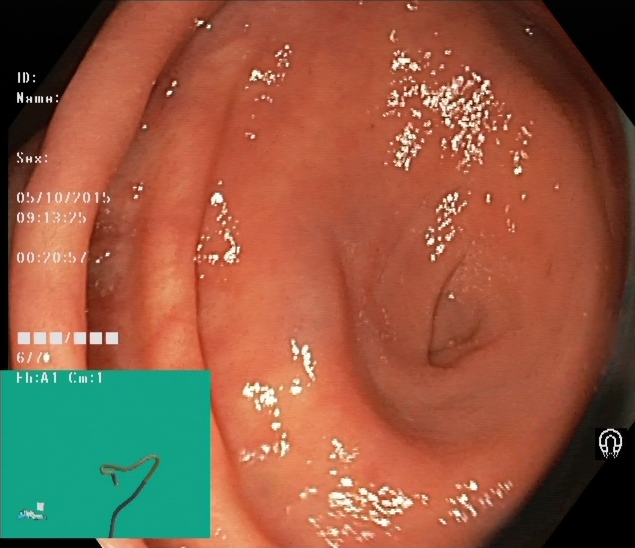Cecum.